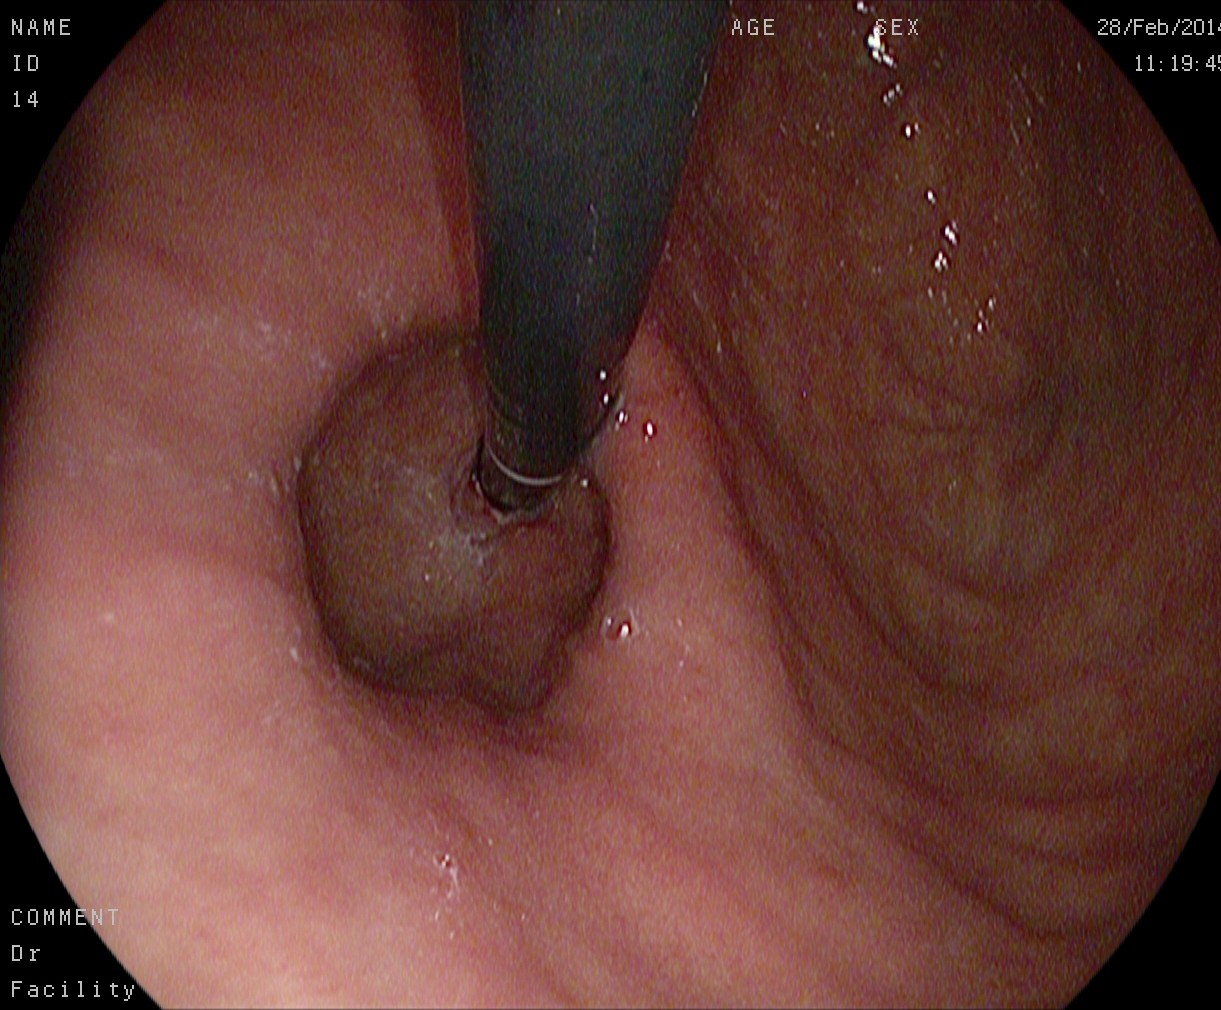This endoscopic image of the upper GI tract shows stomach in retroflexion.